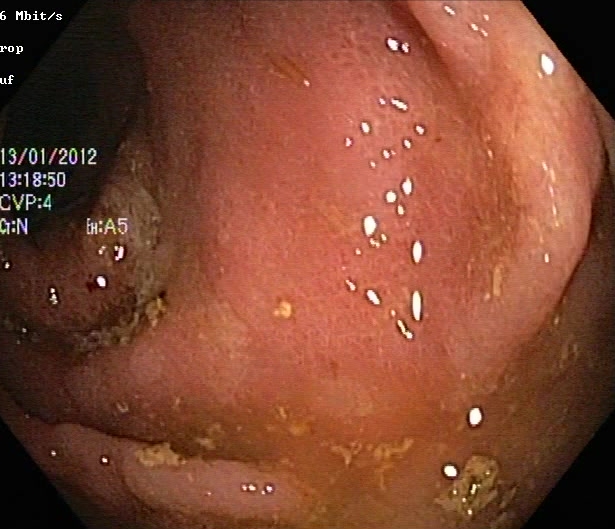UC, Mayo endoscopic subscore 2.